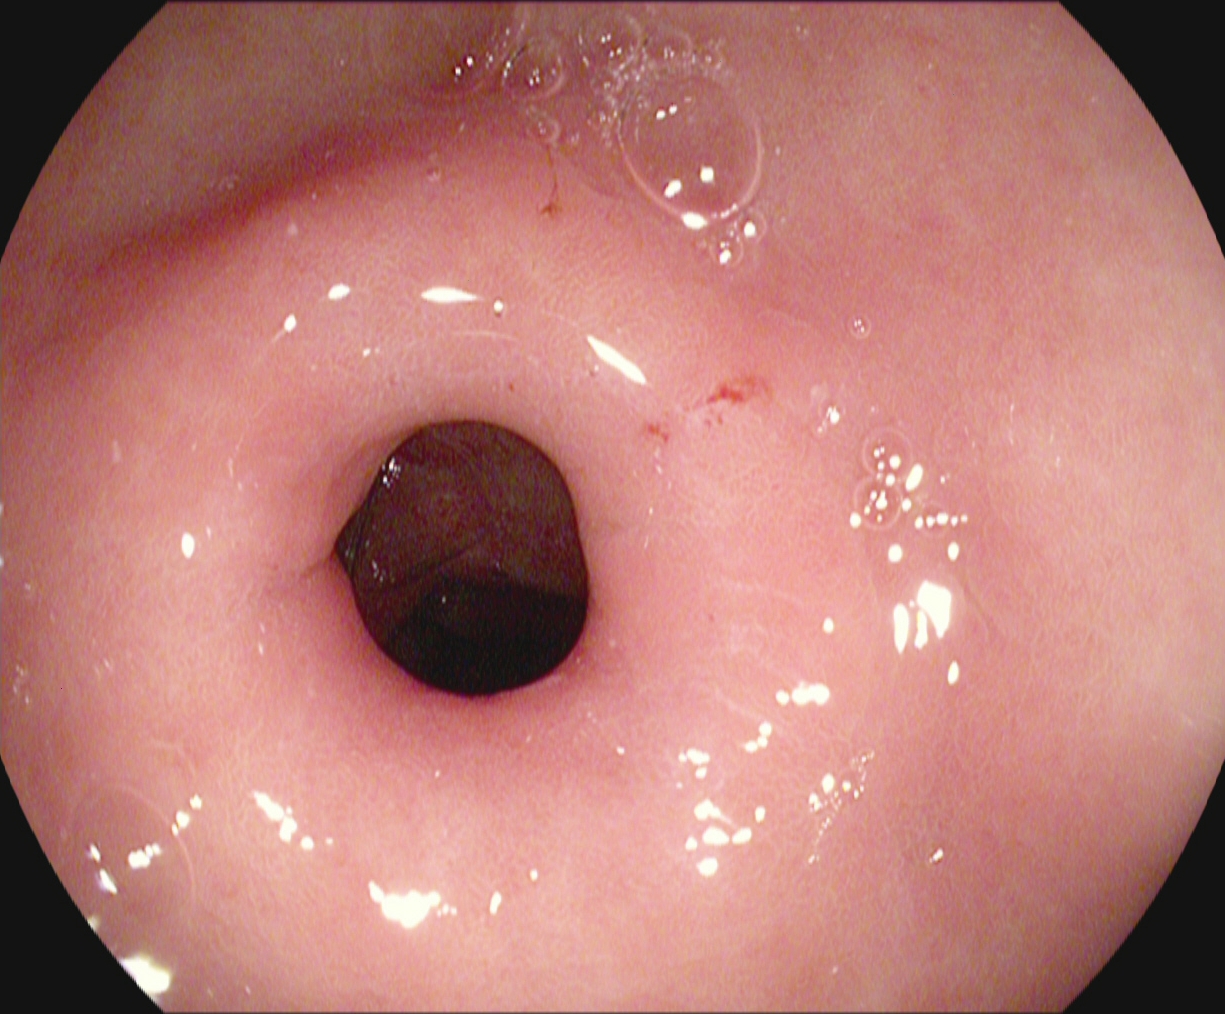Esophagogastroduodenoscopy. Tract: upper GI tract. Finding: pylorus.